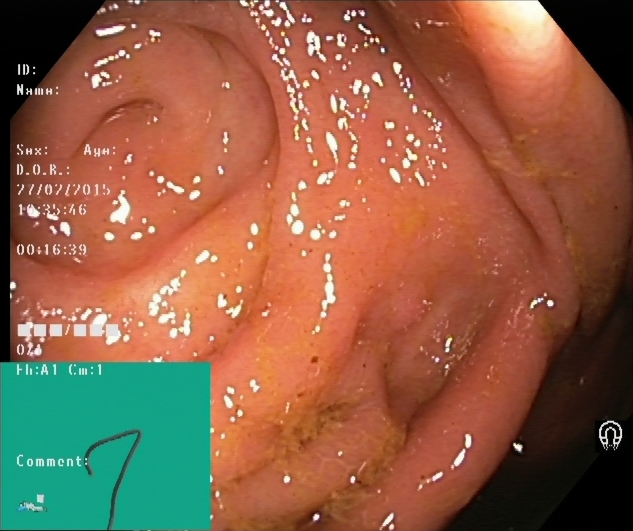PROCEDURE: Lower gastrointestinal endoscopy.
CATEGORY: Anatomical landmark.
FINDINGS: Cecum.